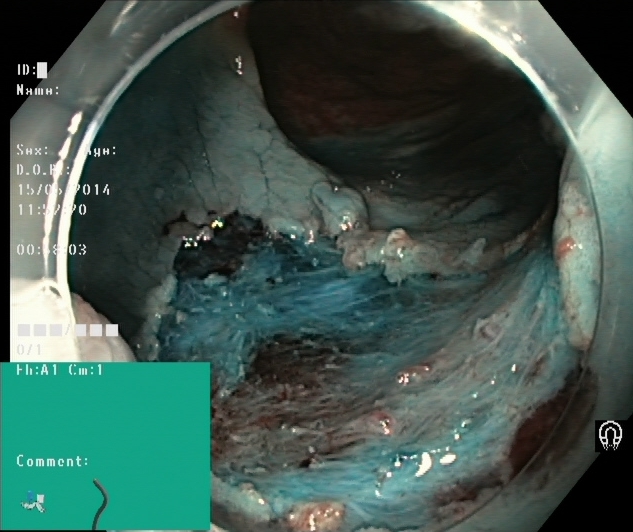{"modality": "lower gastrointestinal endoscopy", "category": "therapeutic intervention", "finding": "dyed resection margins (post-polypectomy)"}